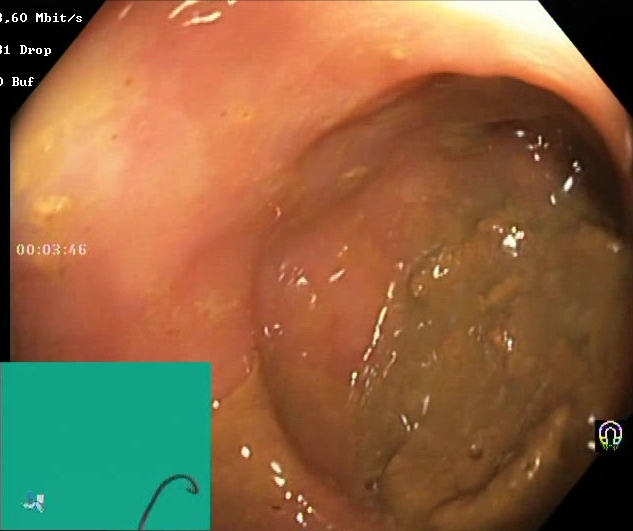Endoscopic image of the lower GI tract showing BBPS score 0–1 (inadequate preparation).